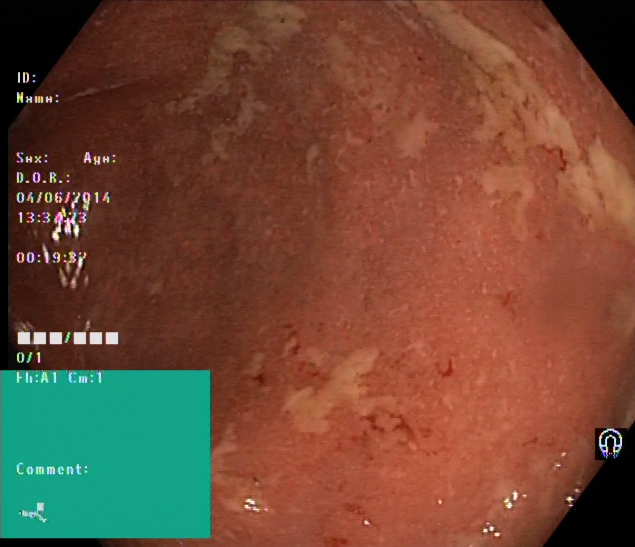{"modality": "lower-GI endoscopy", "finding": "ulcerative colitis, Mayo endoscopic subscore 1"}